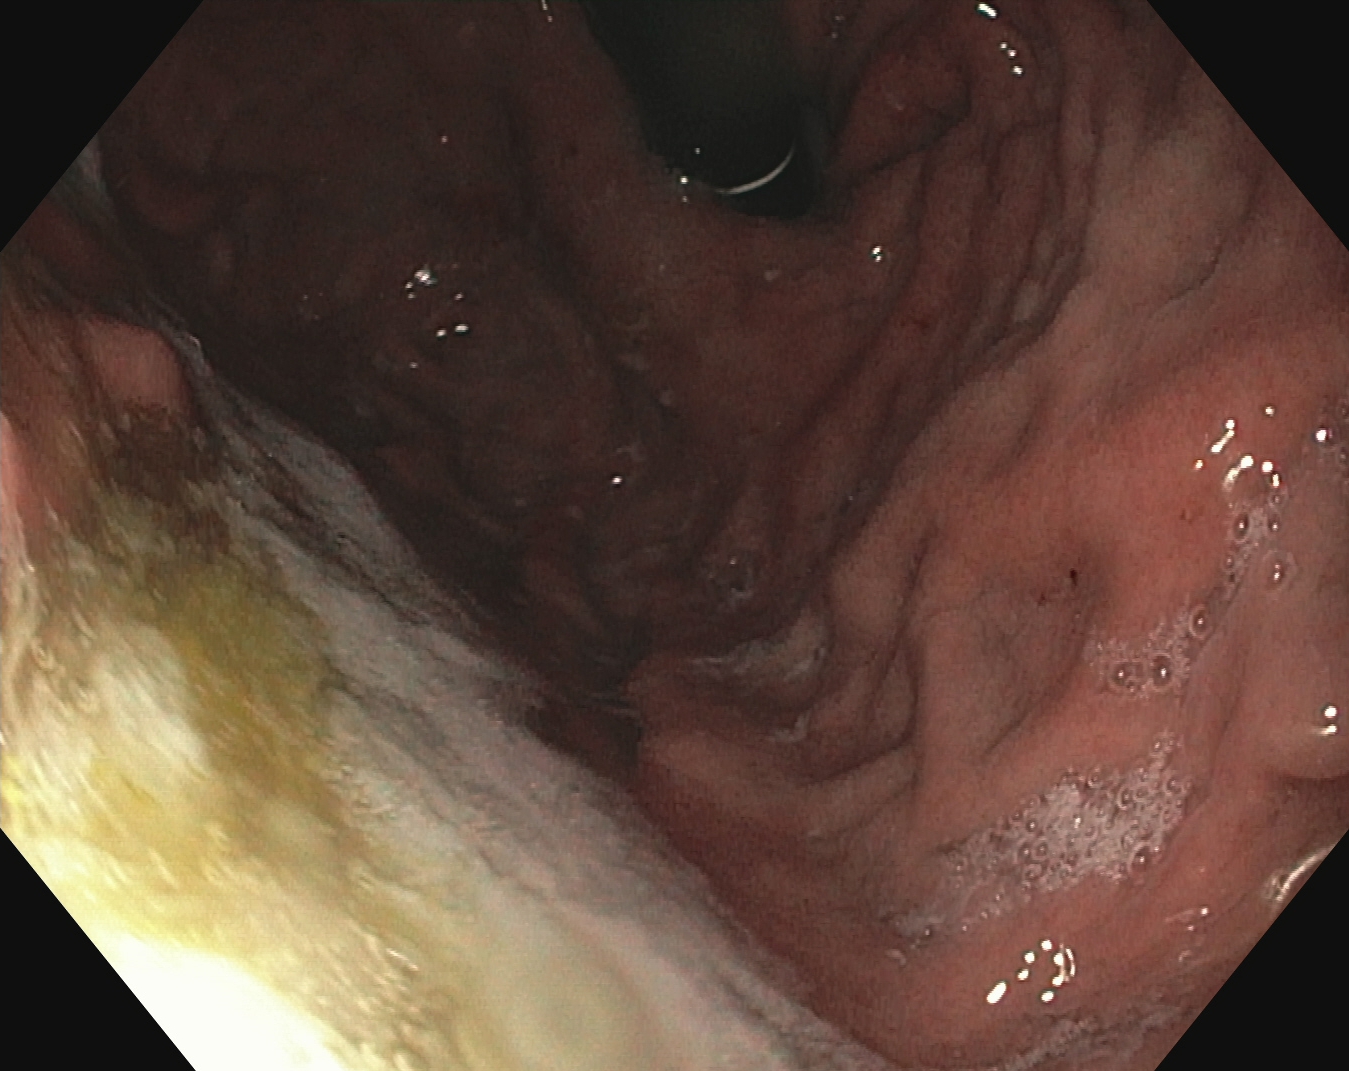{"modality": "upper-GI endoscopy", "category": "anatomical landmark", "finding": "stomach in retroflexion"}